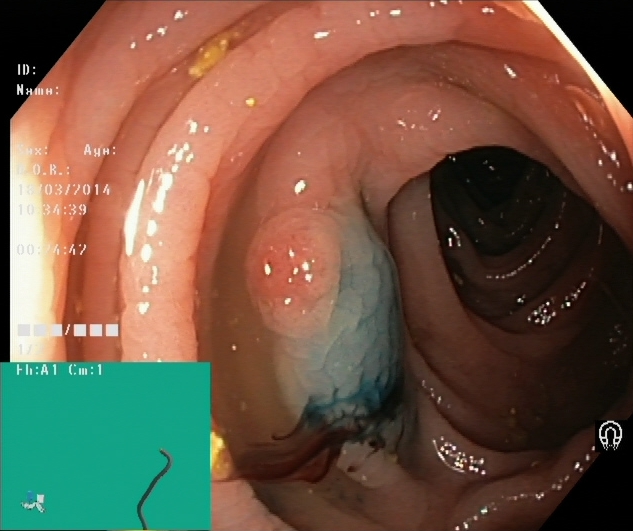This endoscopic image shows dyed and lifted polyp (pre-resection).